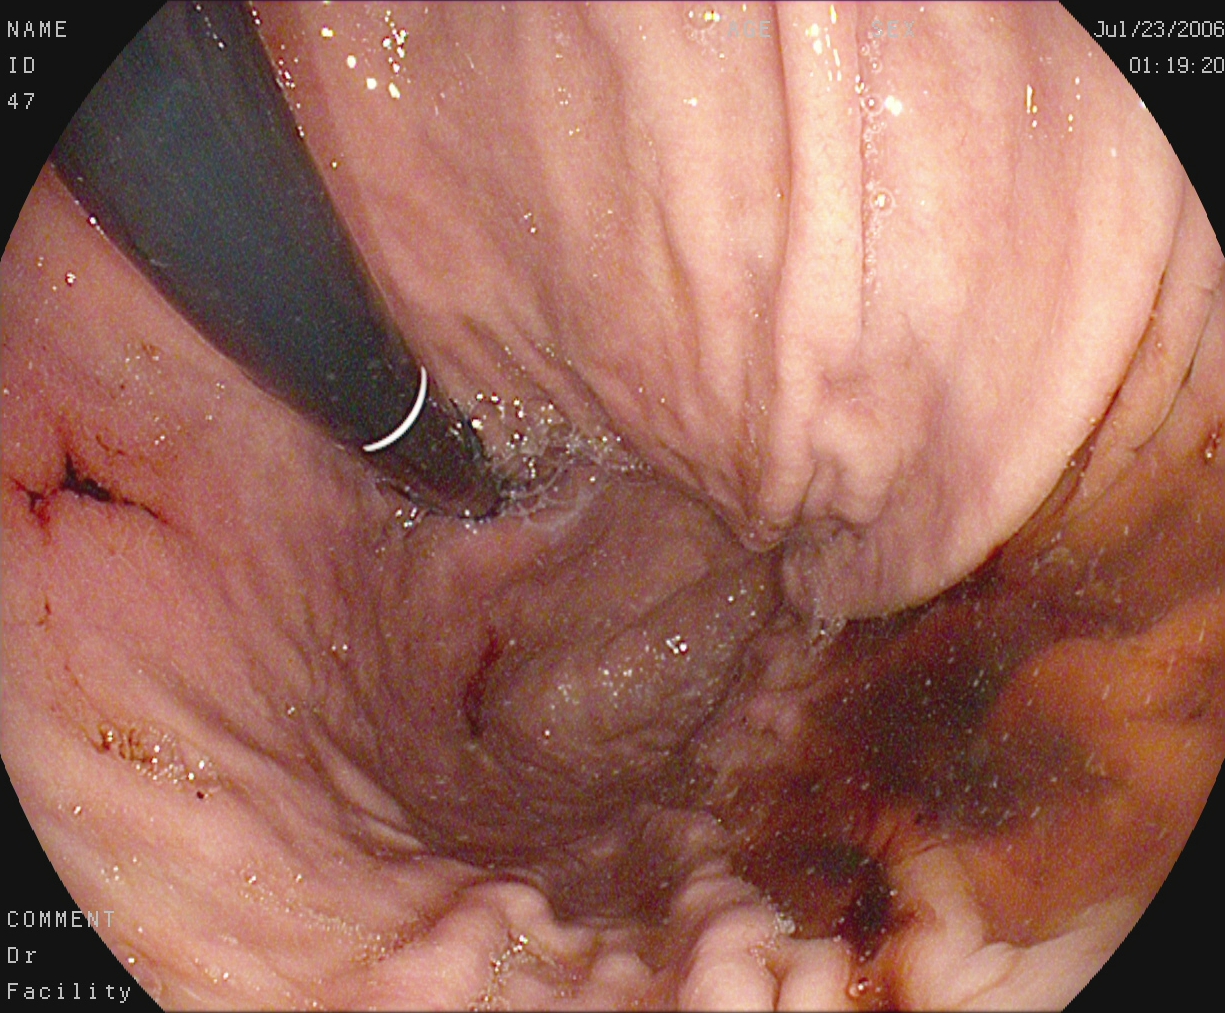modality: esophagogastroduodenoscopy | tract: upper GI tract | finding: stomach in retroflexion